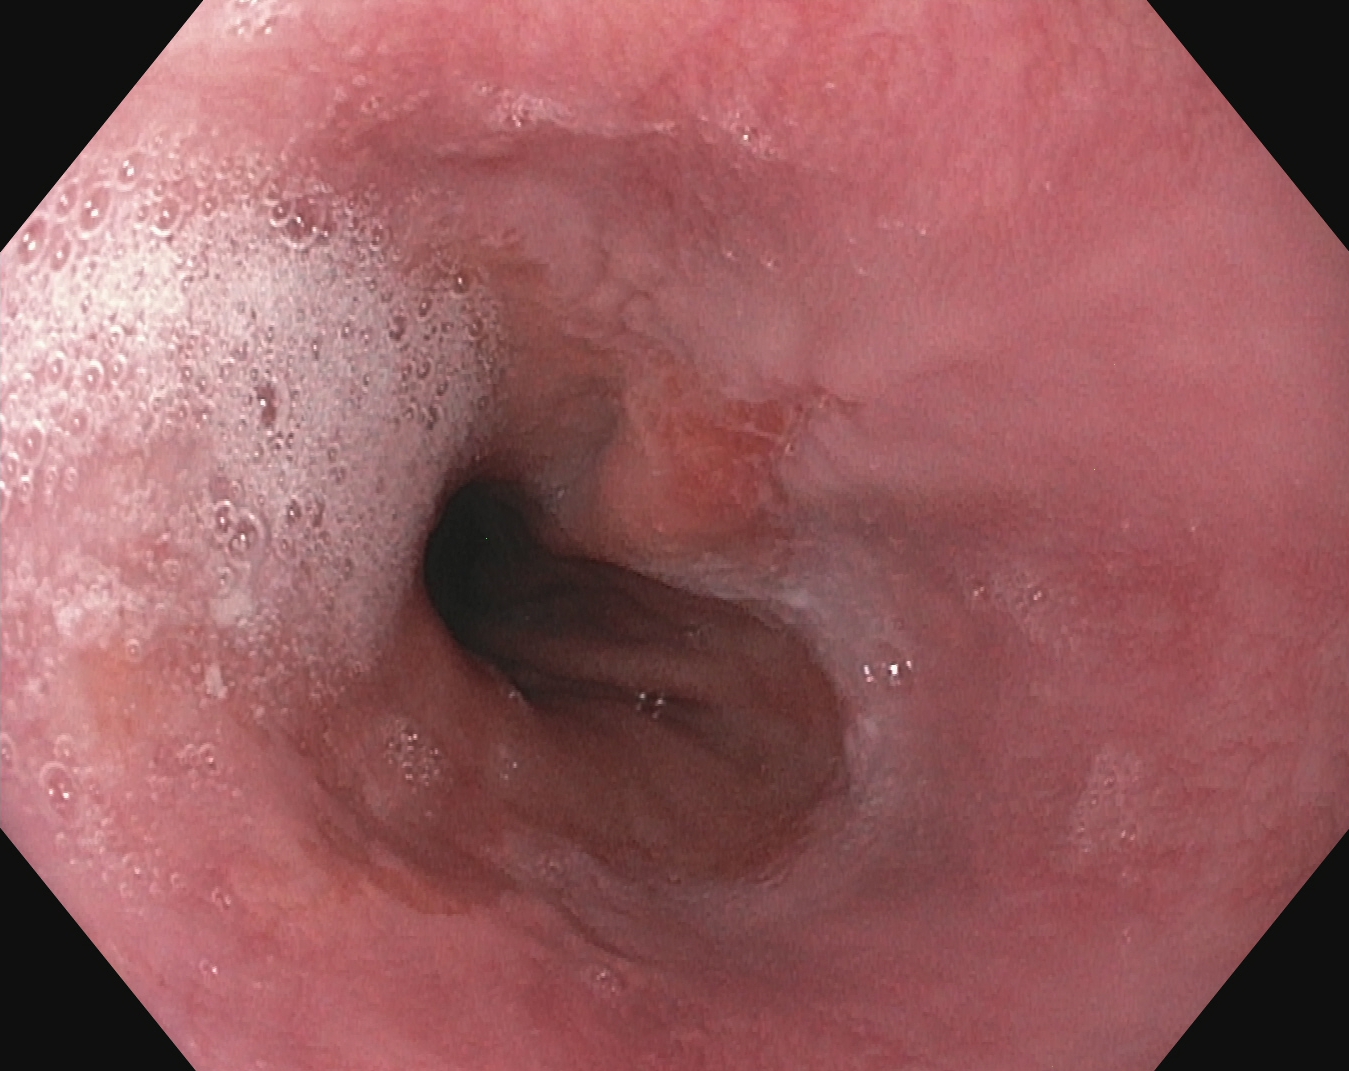{"modality": "EGD", "finding": "reflux esophagitis, Los Angeles grade B\u2013D"}